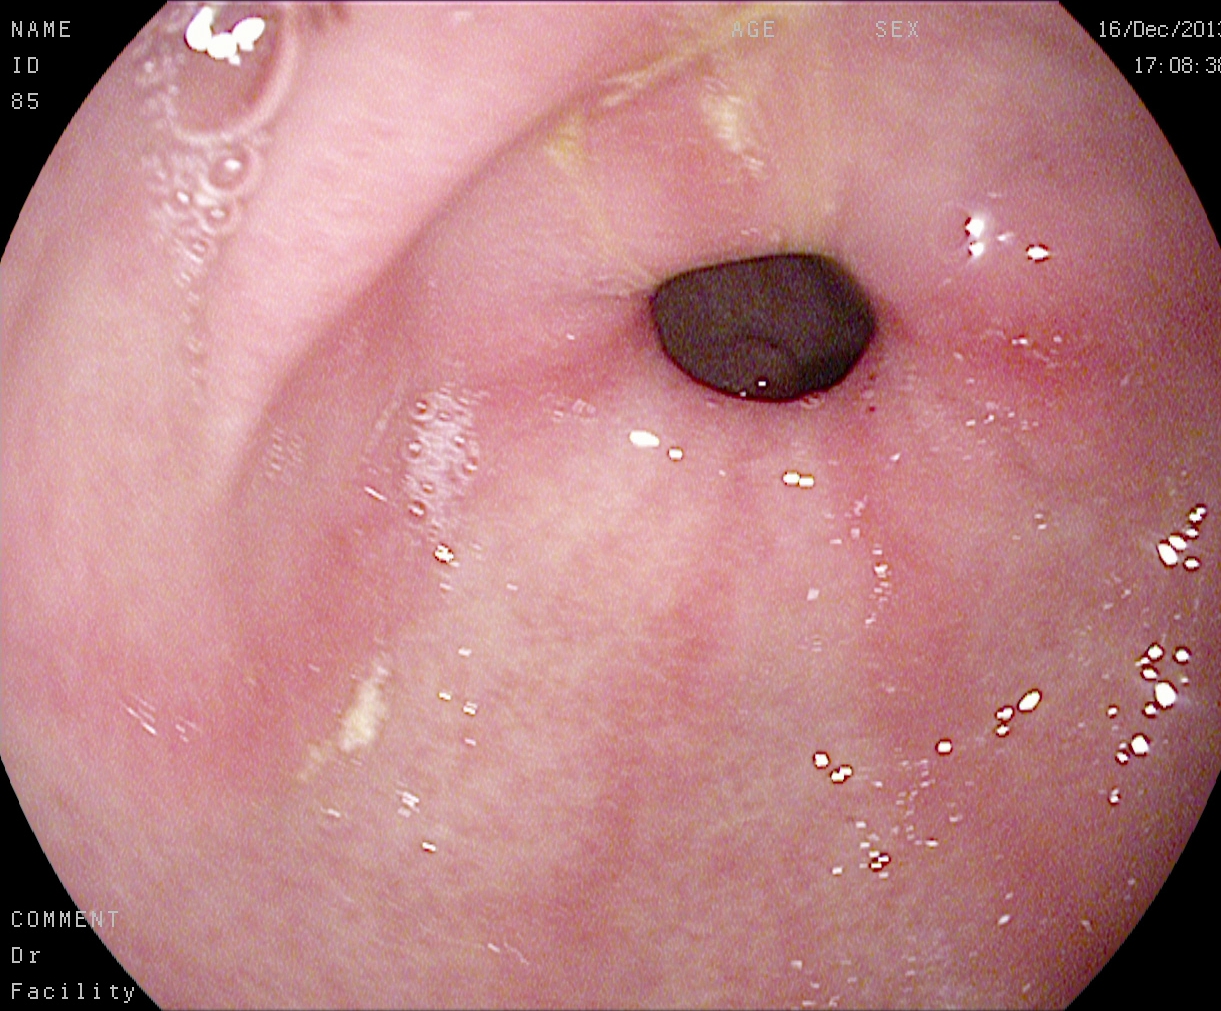PROCEDURE: EGD.
FINDINGS: Pylorus.